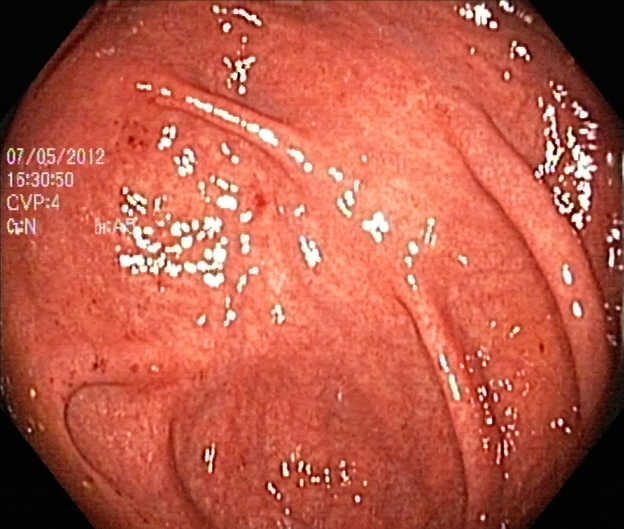Endoscopic frame of the lower GI tract showing cecum.